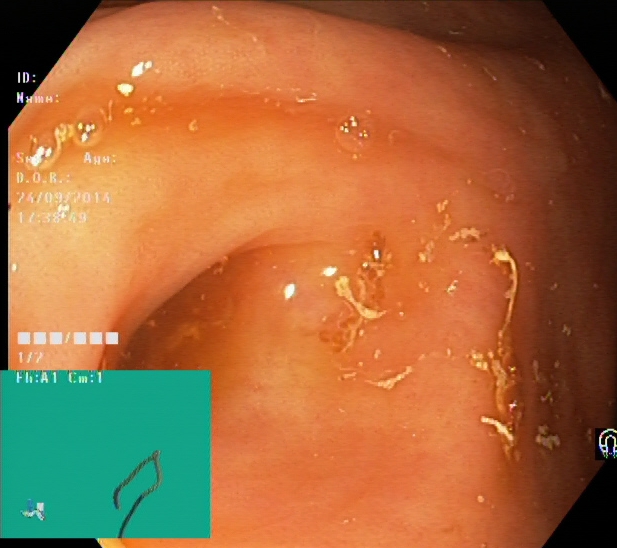PROCEDURE: Lower gastrointestinal endoscopy.
FINDINGS: Cecum.